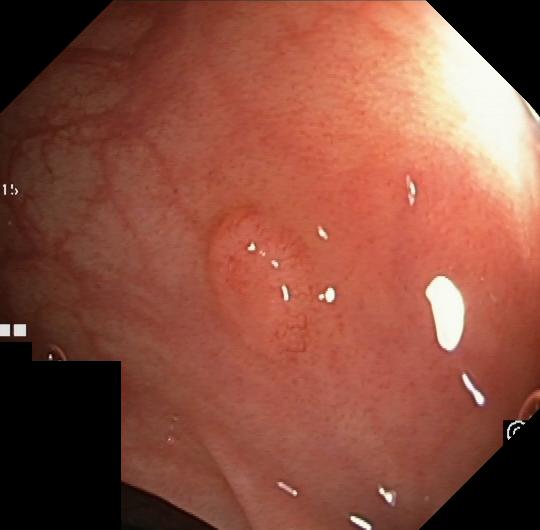This endoscopic image shows colorectal polyp(s).